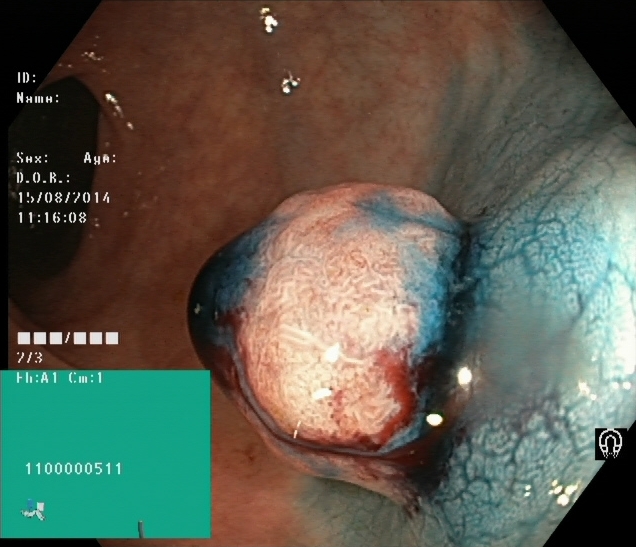modality: colonoscopy | tract: lower GI tract | finding: dyed and lifted polyp (pre-resection)